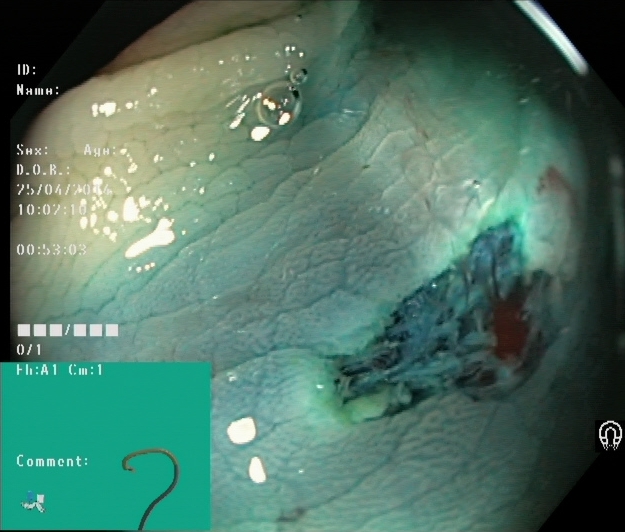{"modality": "colonoscopy", "finding": "dyed resection margins (post-polypectomy)"}